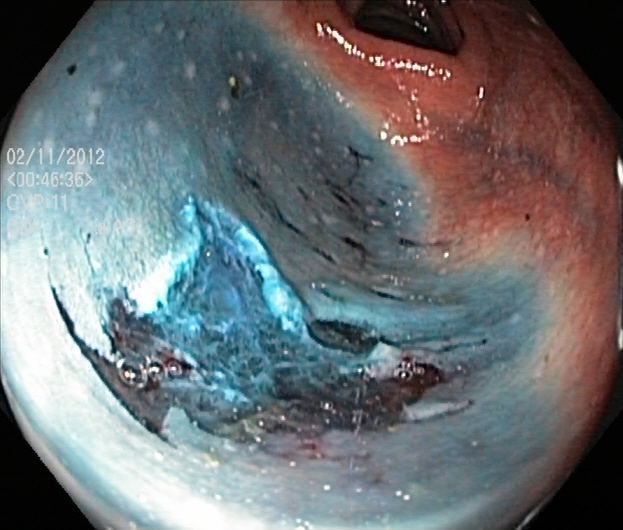This endoscopic image of the lower GI tract shows dyed resection margins (post-polypectomy).